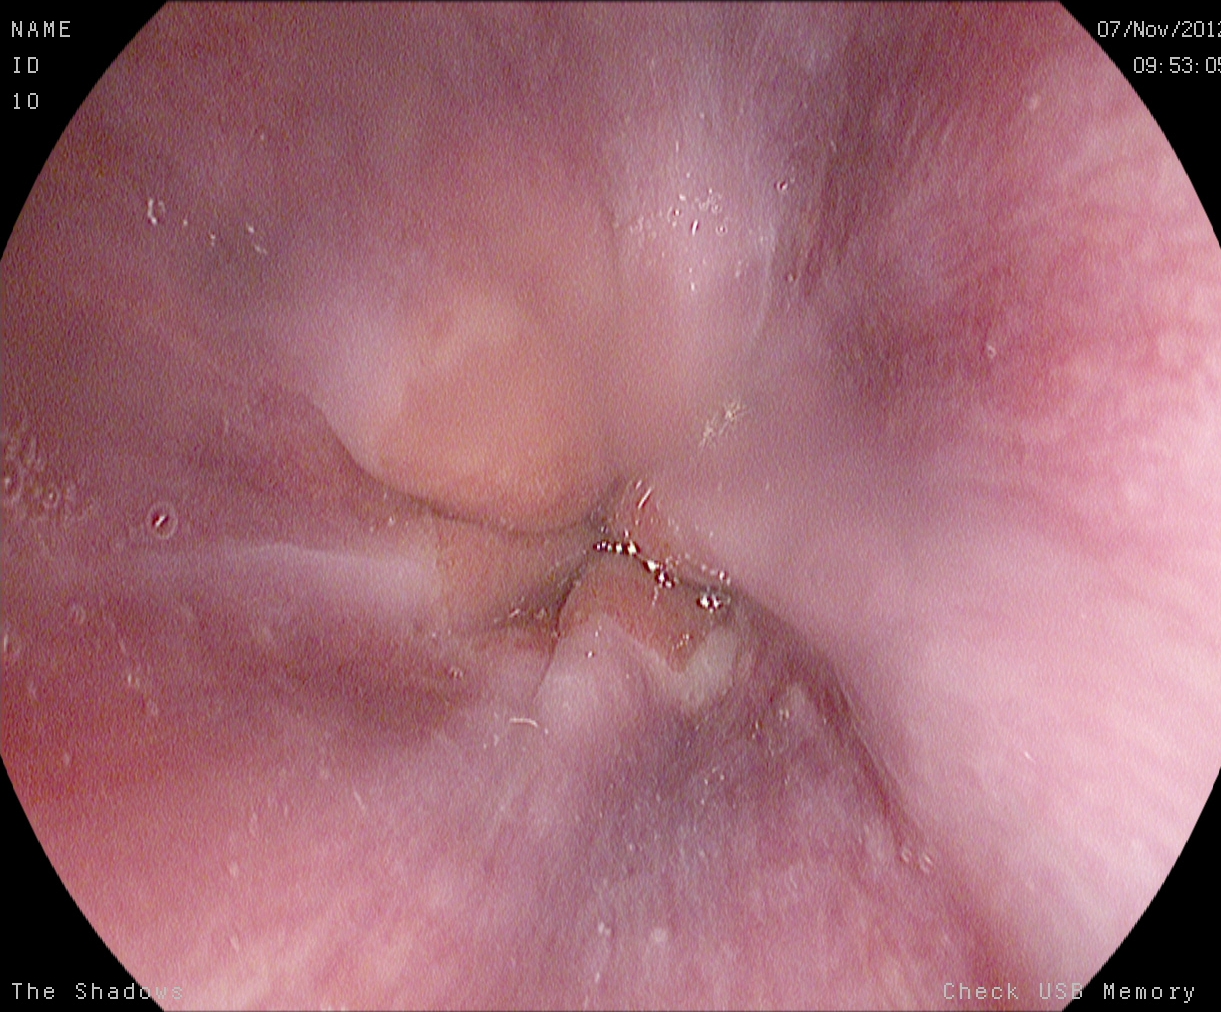PROCEDURE: Gastroscopy.
FINDINGS: Z-line (gastroesophageal junction).